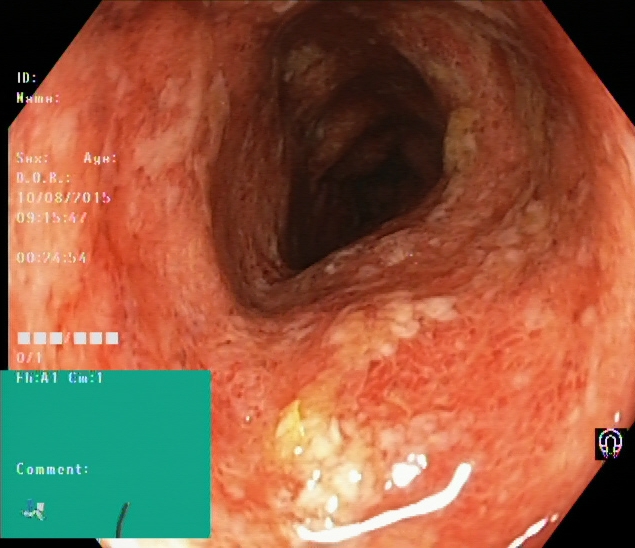This endoscopy frame of the lower GI tract shows ulcerative colitis, Mayo endoscopic subscore 2.